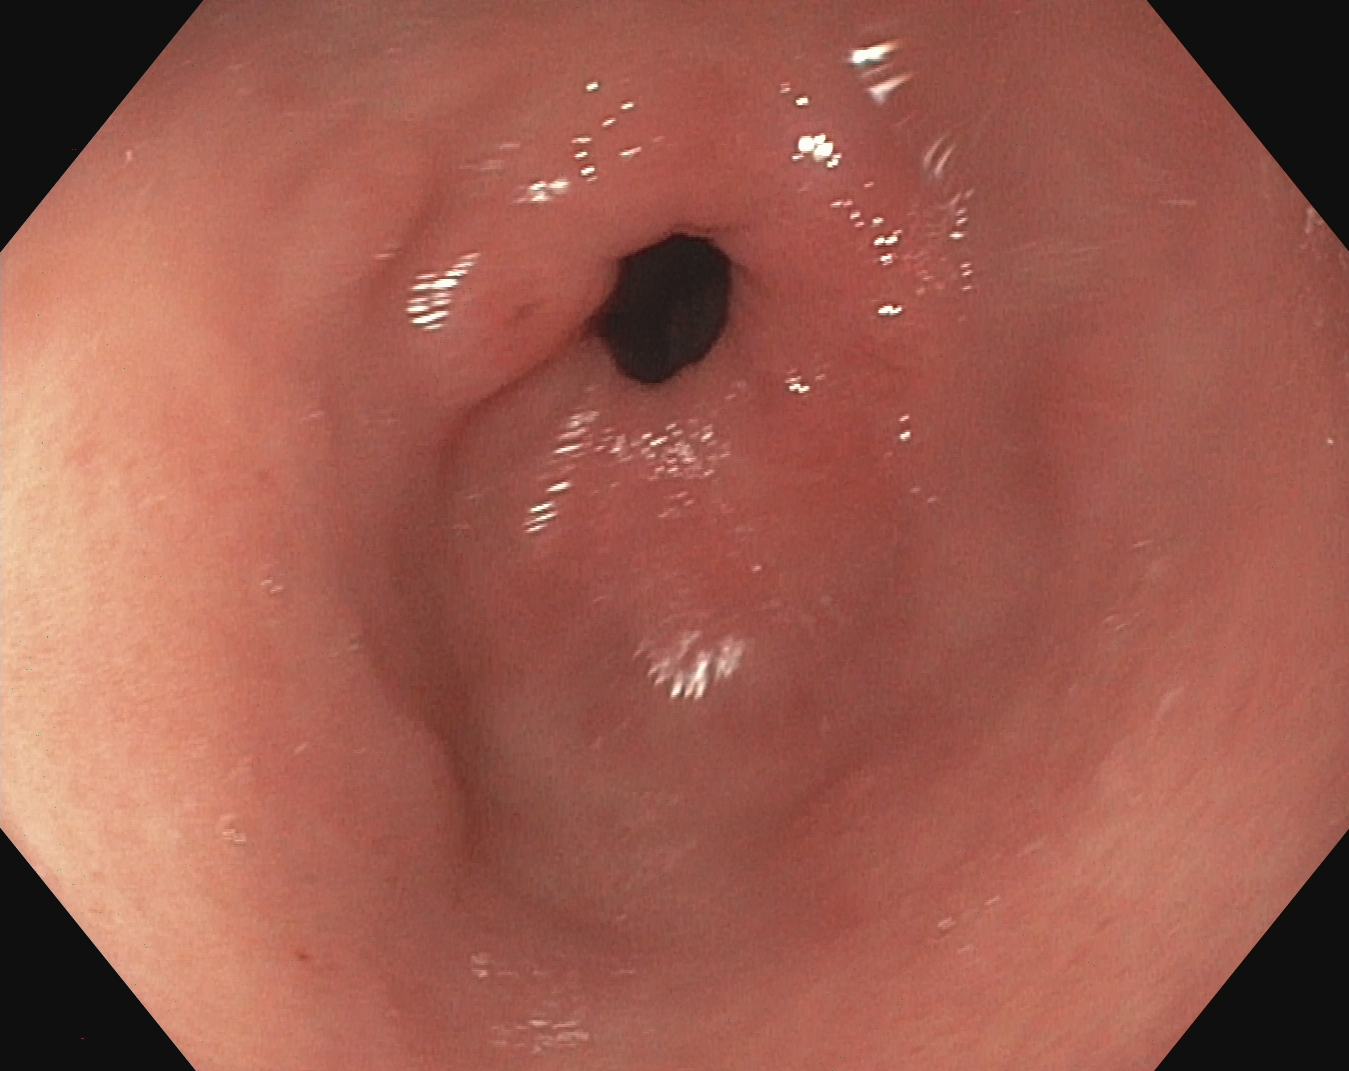Endoscopy image showing pylorus.